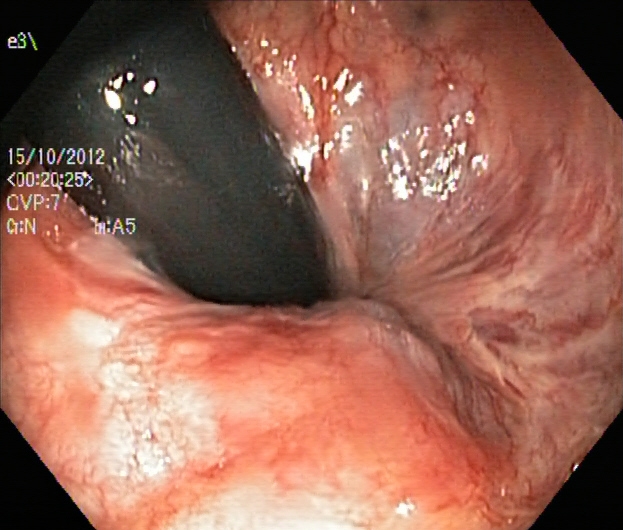PROCEDURE: Lower-GI endoscopy.
FINDINGS: Rectum in retroflexion.